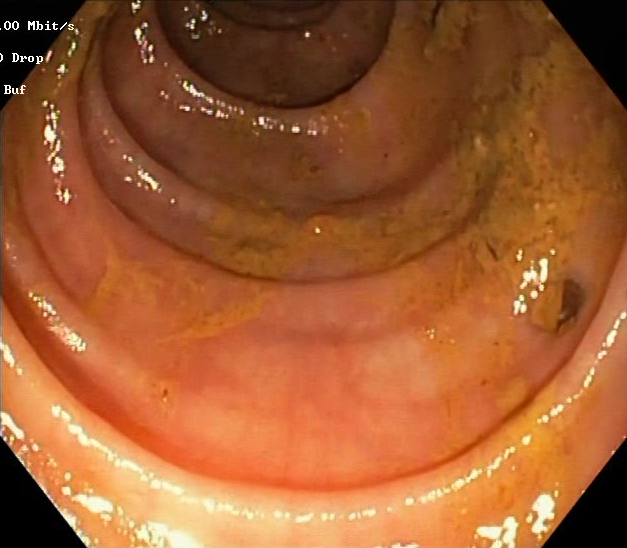{"modality": "lower-GI endoscopy", "tract": "lower GI tract", "category": "mucosal-view quality", "finding": "Boston Bowel Preparation Scale score 0\u20131 (inadequate preparation)"}